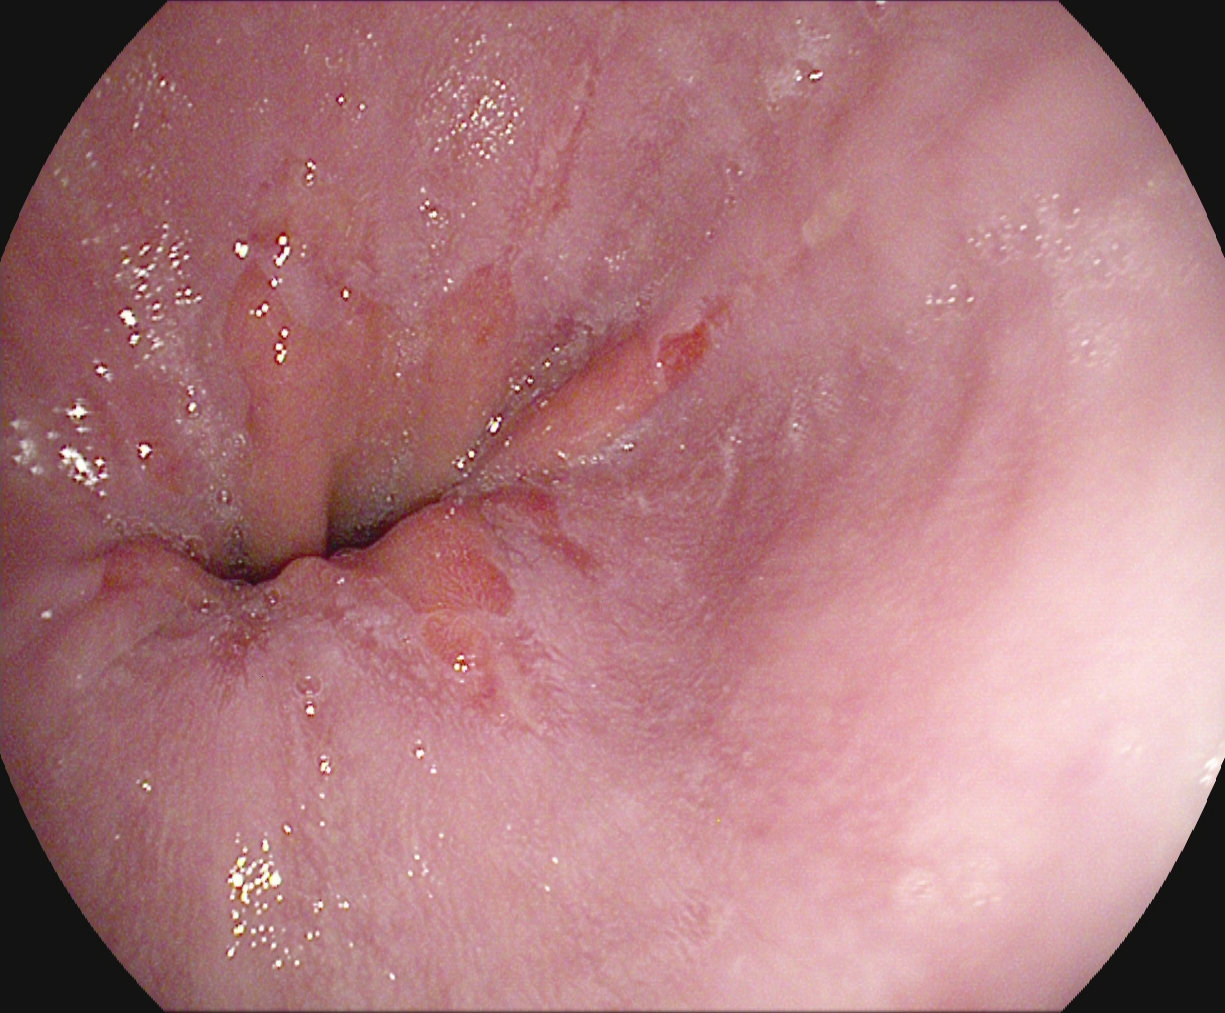Reflux esophagitis, Los Angeles grade A.